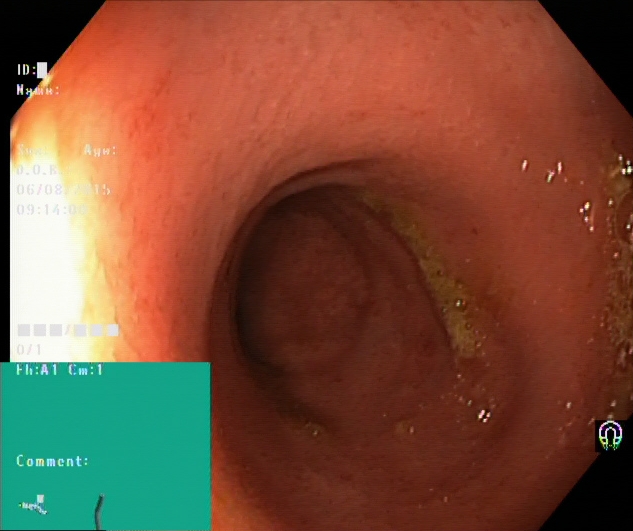PROCEDURE: Lower gastrointestinal endoscopy.
CATEGORY: Pathological finding.
FINDINGS: Ulcerative colitis, Mayo endoscopic subscore 2.